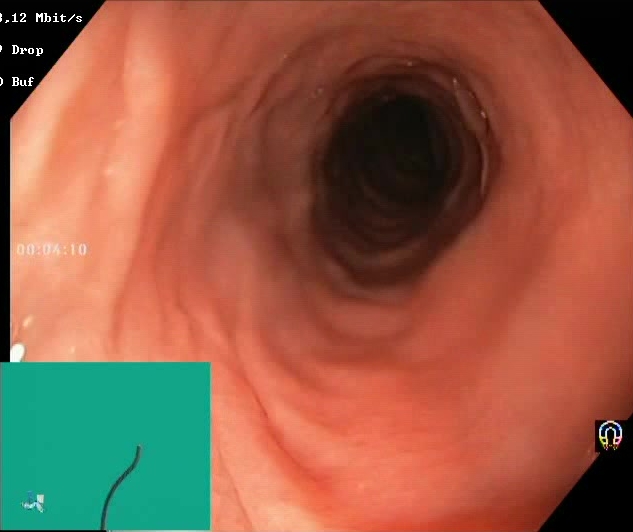Colonoscopy. Mucosal-view quality. Finding: Boston Bowel Preparation Scale score 2–3 (adequate preparation).